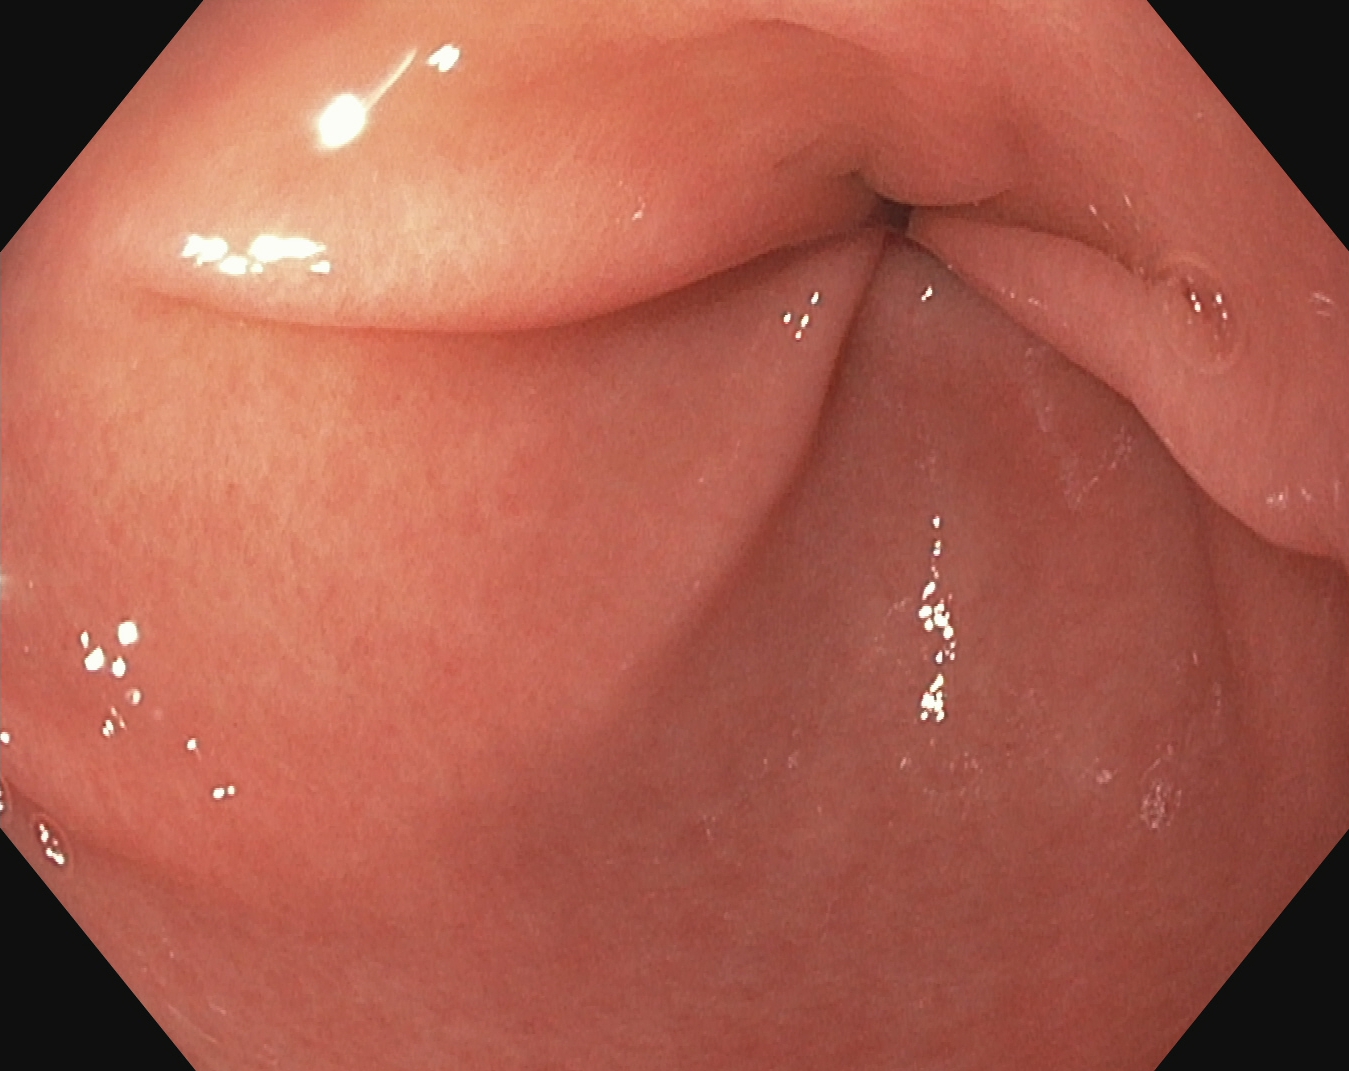Upper-GI endoscopy — pylorus.